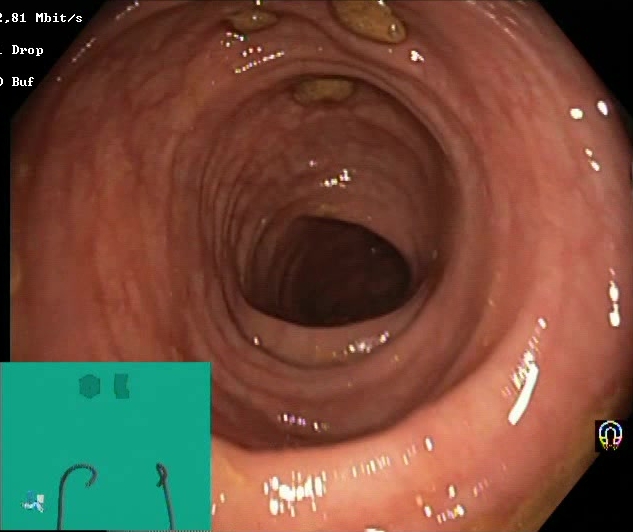Lower-GI endoscopy — impacted stool.